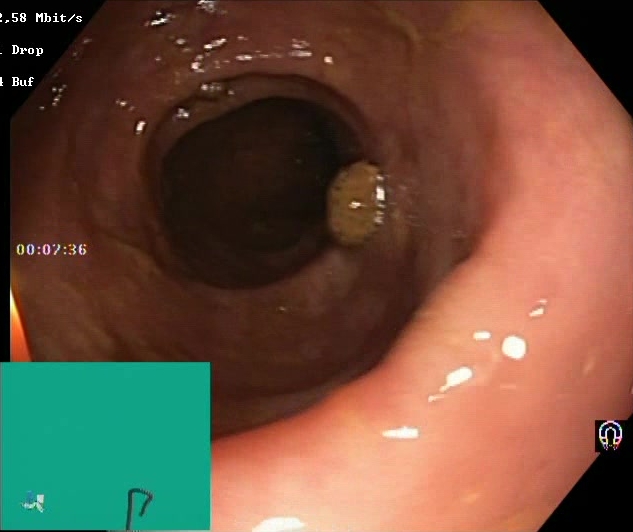Lower-GI endoscopy. Tract: lower GI tract. Mucosal-view quality. Finding: Boston Bowel Preparation Scale score 2–3 (adequate preparation).